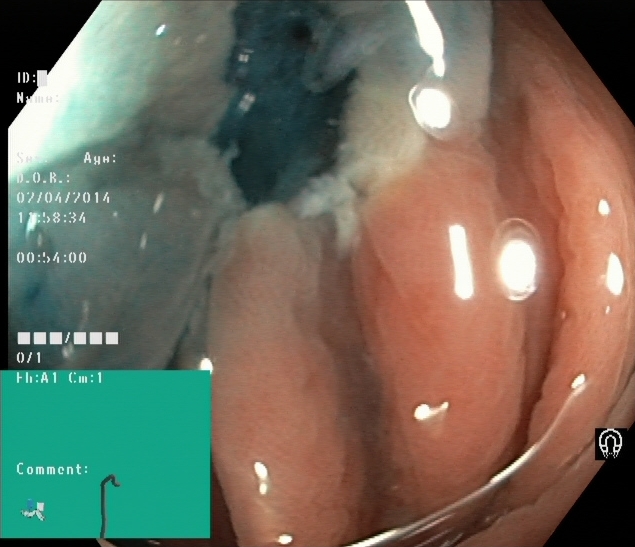Lower gastrointestinal endoscopy. Finding: dyed resection margins (post-polypectomy).